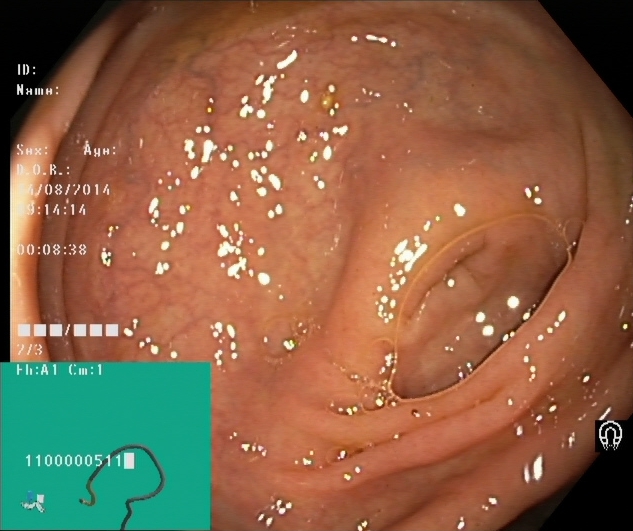Cecum.